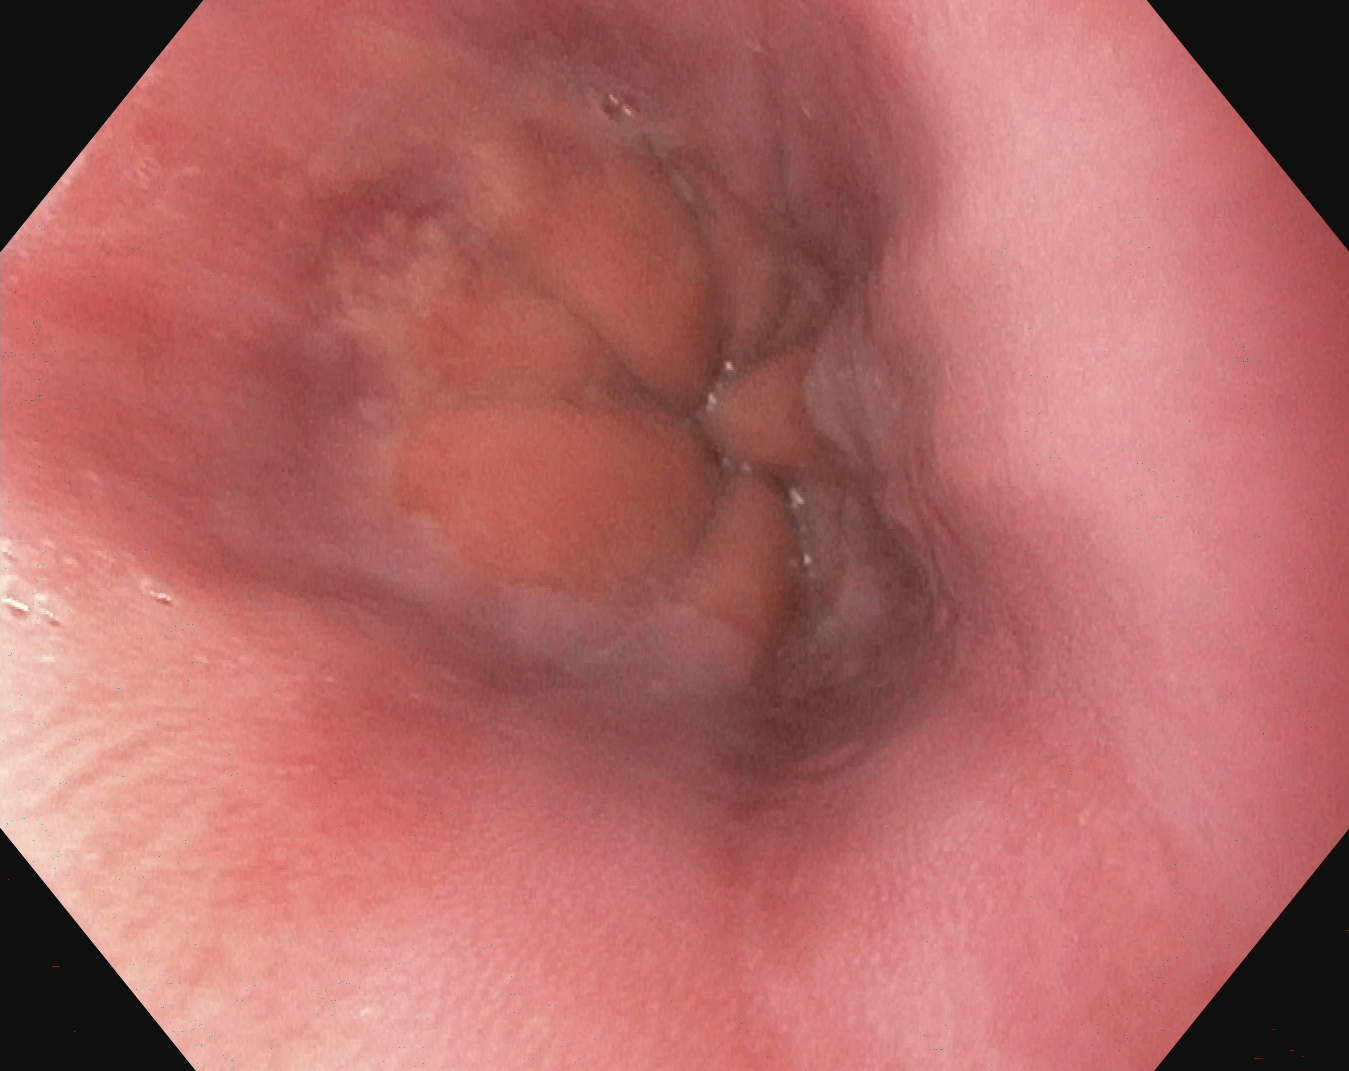Endoscopy image of the upper GI tract showing Z-line (gastroesophageal junction).